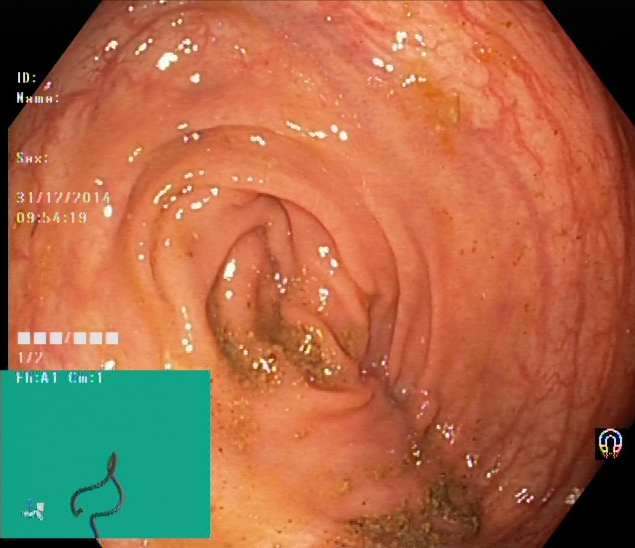modality: colonoscopy; tract: lower GI tract; finding: cecum